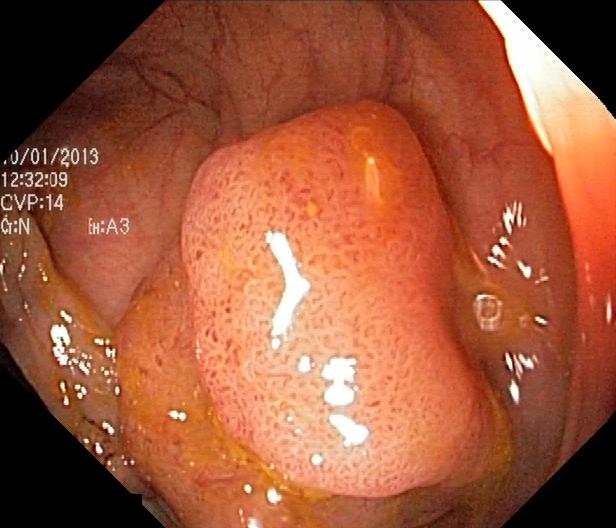Lower-GI endoscopy. Tract: lower GI tract. Pathological finding. Finding: colorectal polyp(s).